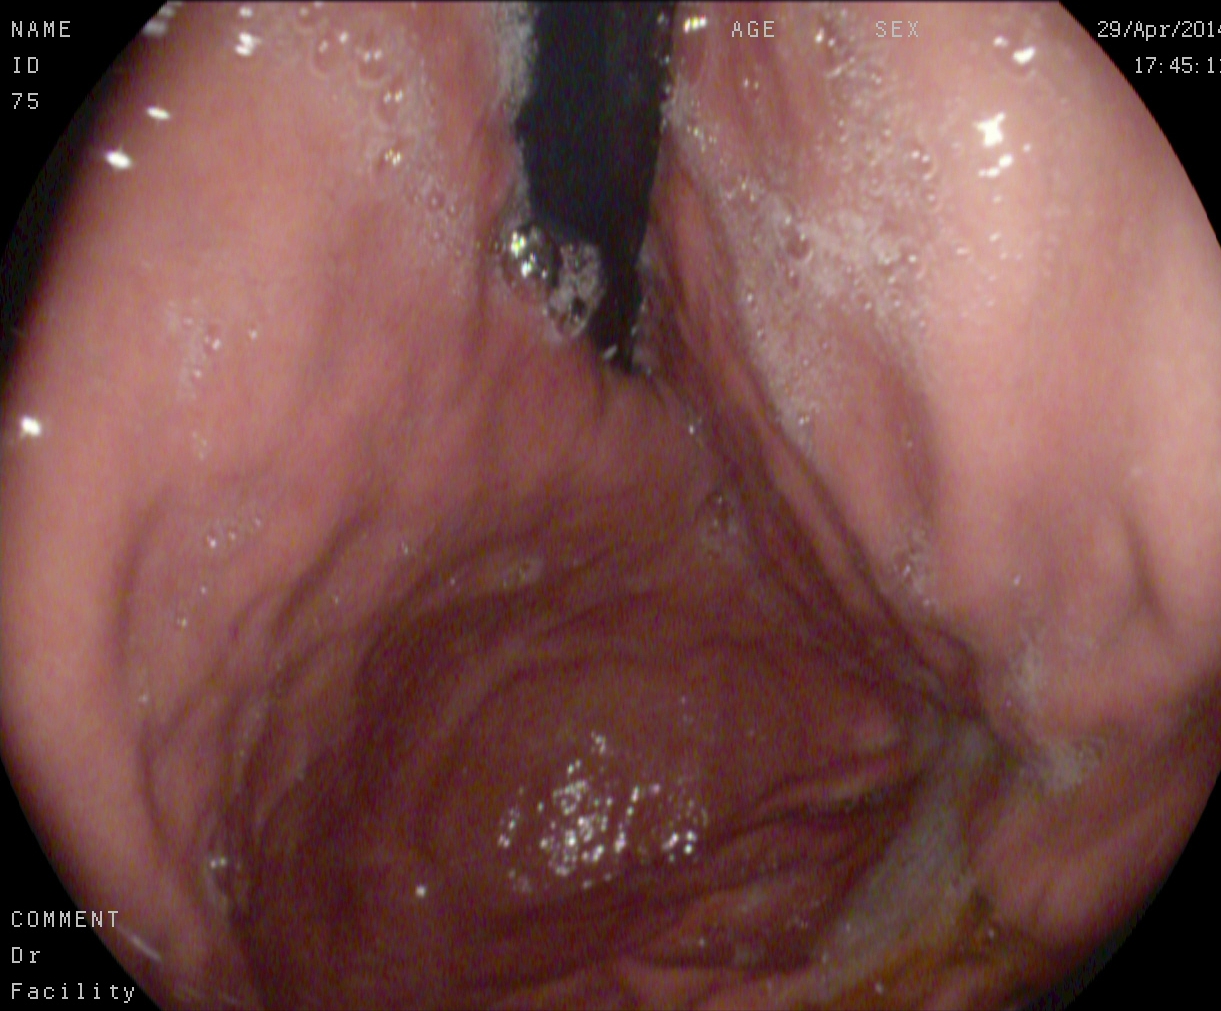PROCEDURE: Gastroscopy.
FINDINGS: Stomach in retroflexion.